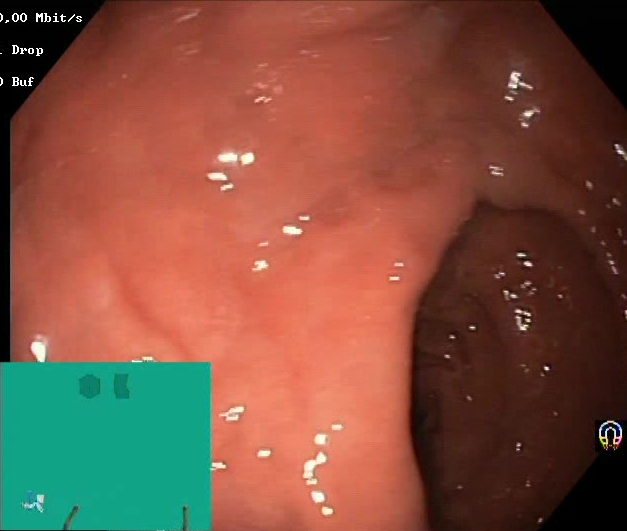modality: colonoscopy; category: mucosal-view quality; finding: BBPS score 2–3 (adequate preparation)